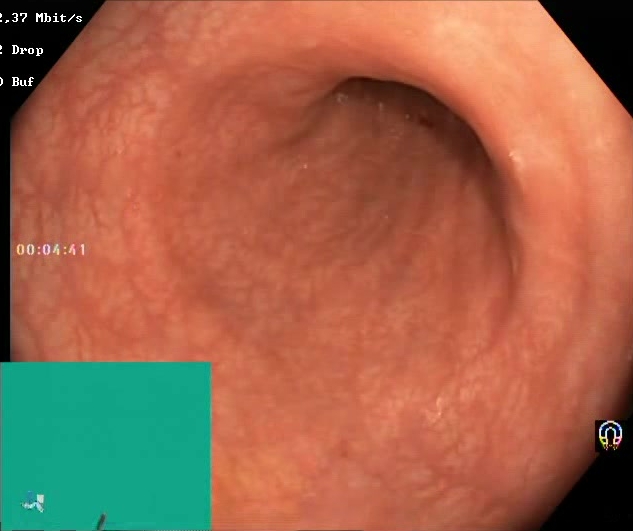Lower-GI endoscopy — Boston Bowel Preparation Scale score 2–3 (adequate preparation).